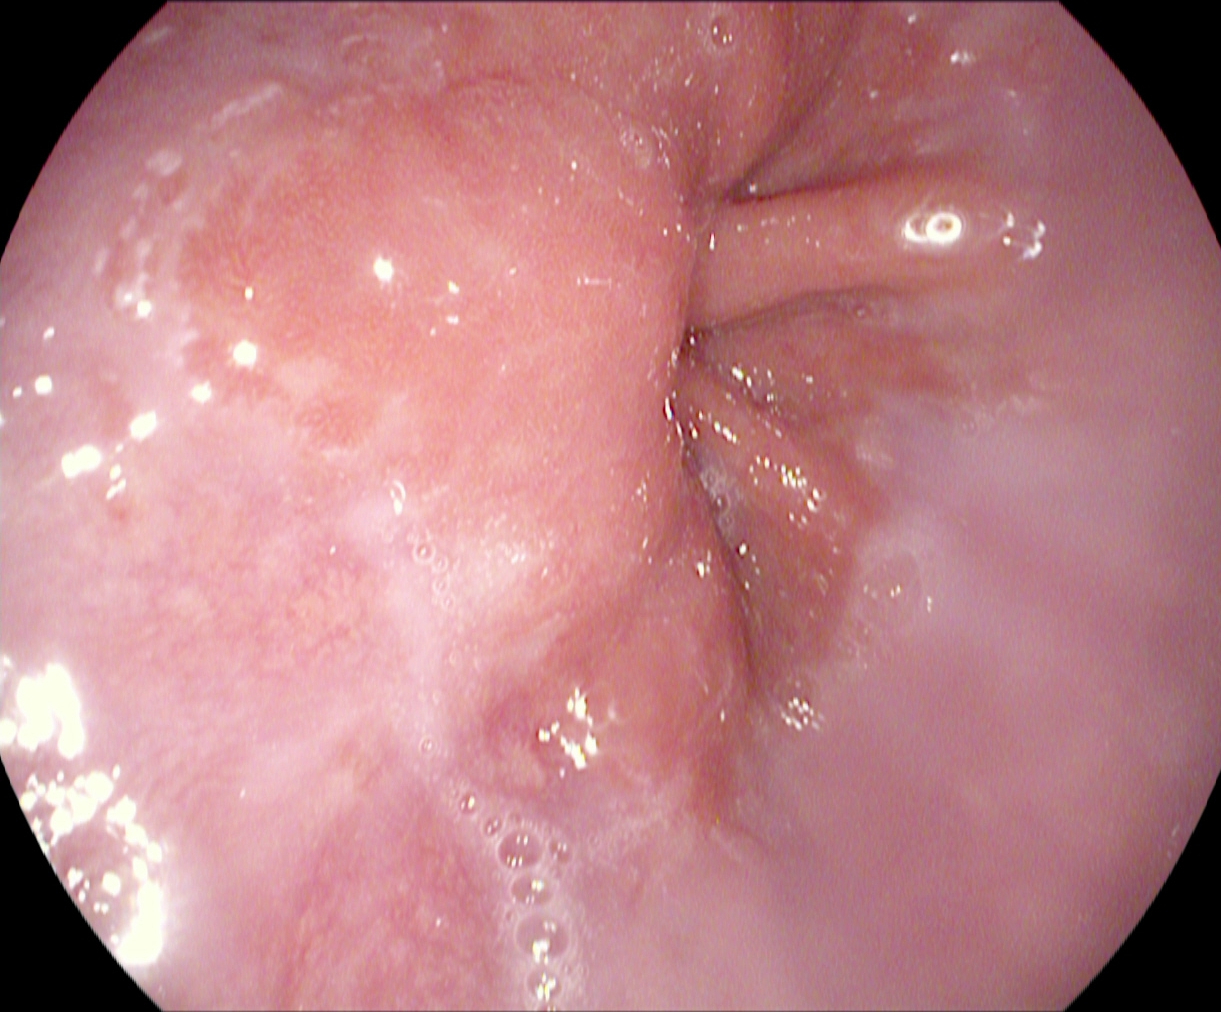Gastroscopy. Anatomical landmark. Finding: Z-line (gastroesophageal junction).